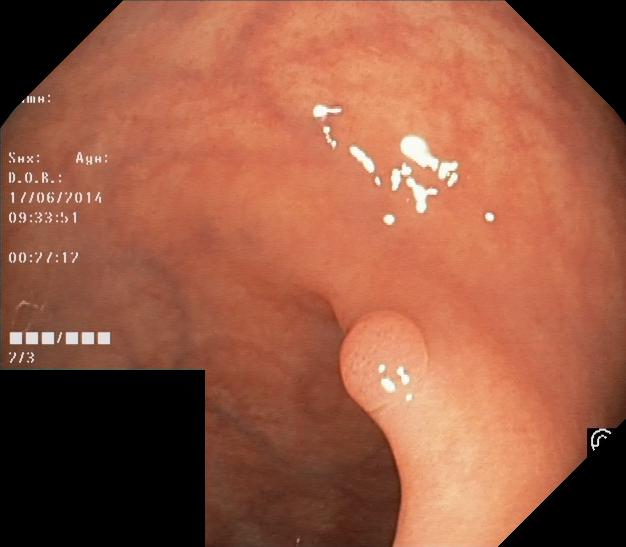colorectal polyp(s).